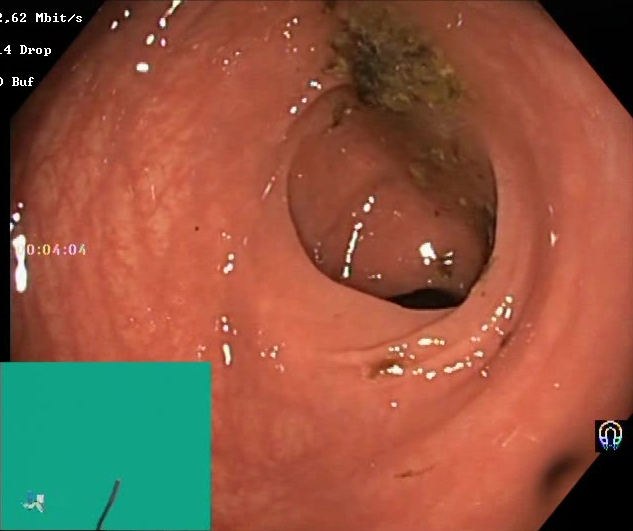Lower-GI endoscopy — Boston Bowel Preparation Scale score 0–1 (inadequate preparation).